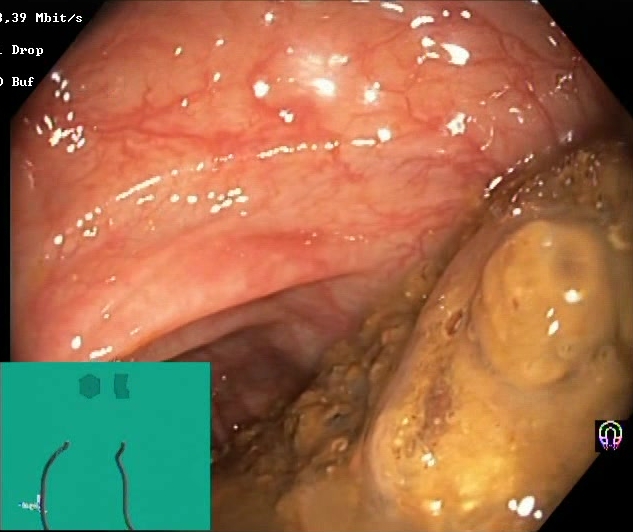Lower-GI endoscopy. Tract: lower GI tract. Finding: BBPS score 0–1 (inadequate preparation).